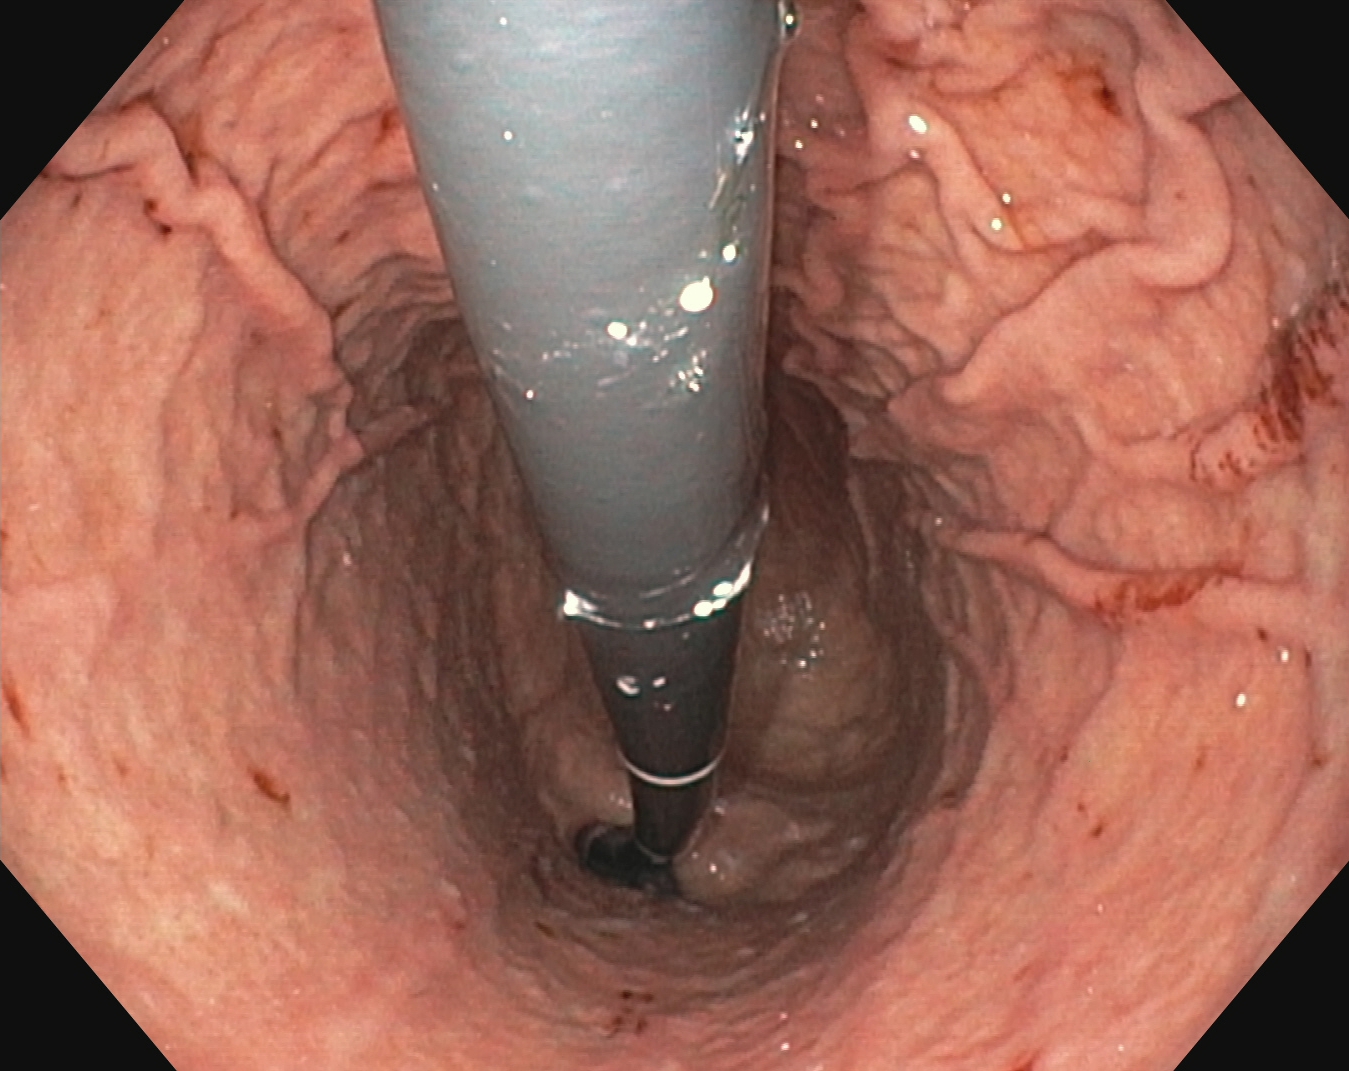PROCEDURE: EGD.
FINDINGS: Stomach in retroflexion.